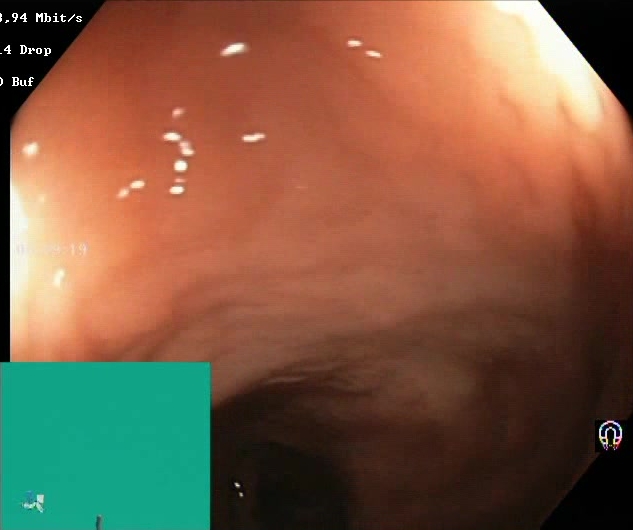BBPS score 2–3 (adequate preparation).